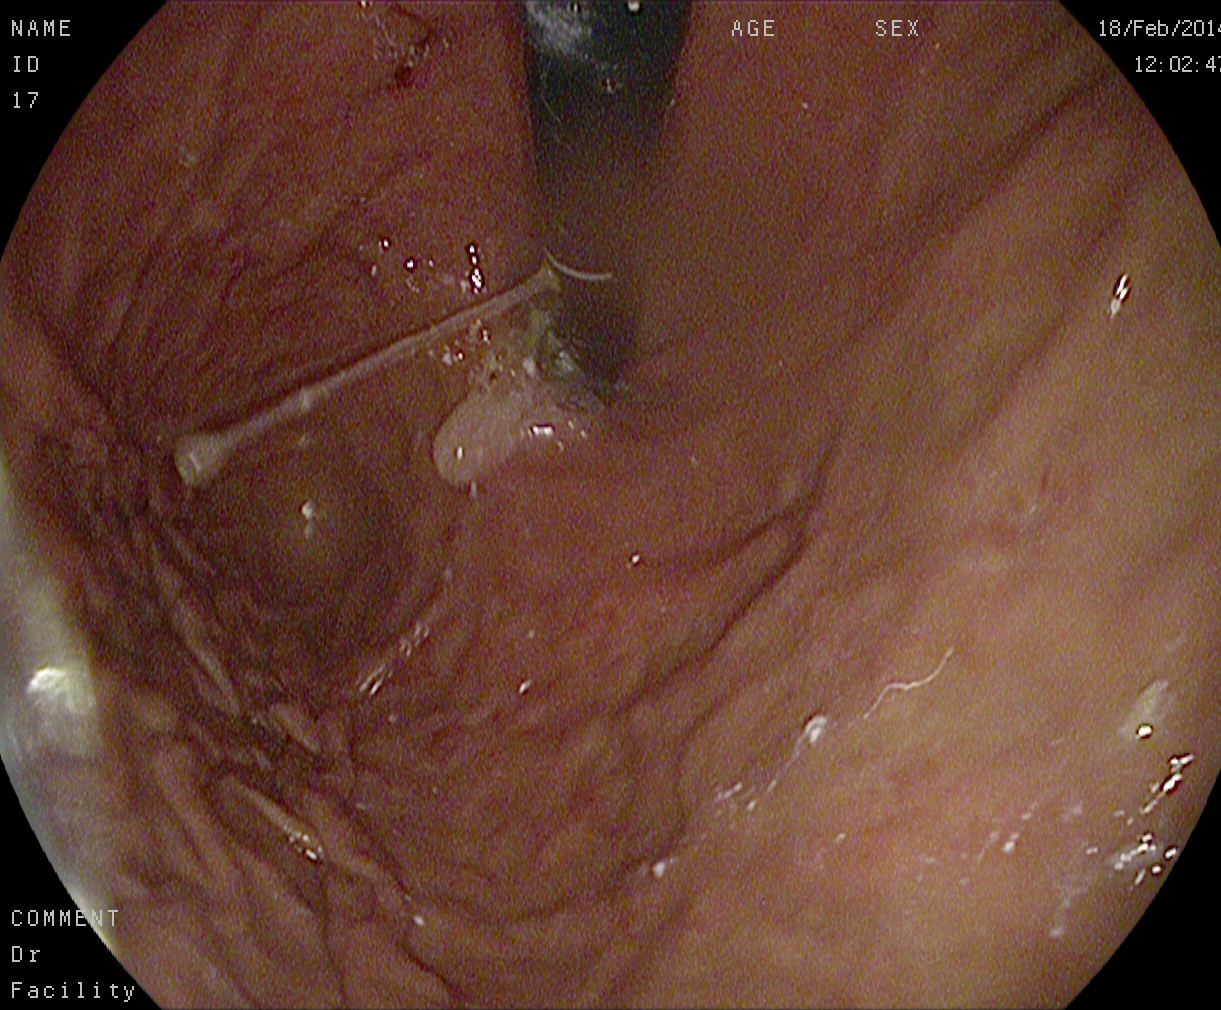{"modality": "gastroscopy", "tract": "upper GI tract", "category": "anatomical landmark", "finding": "stomach in retroflexion"}